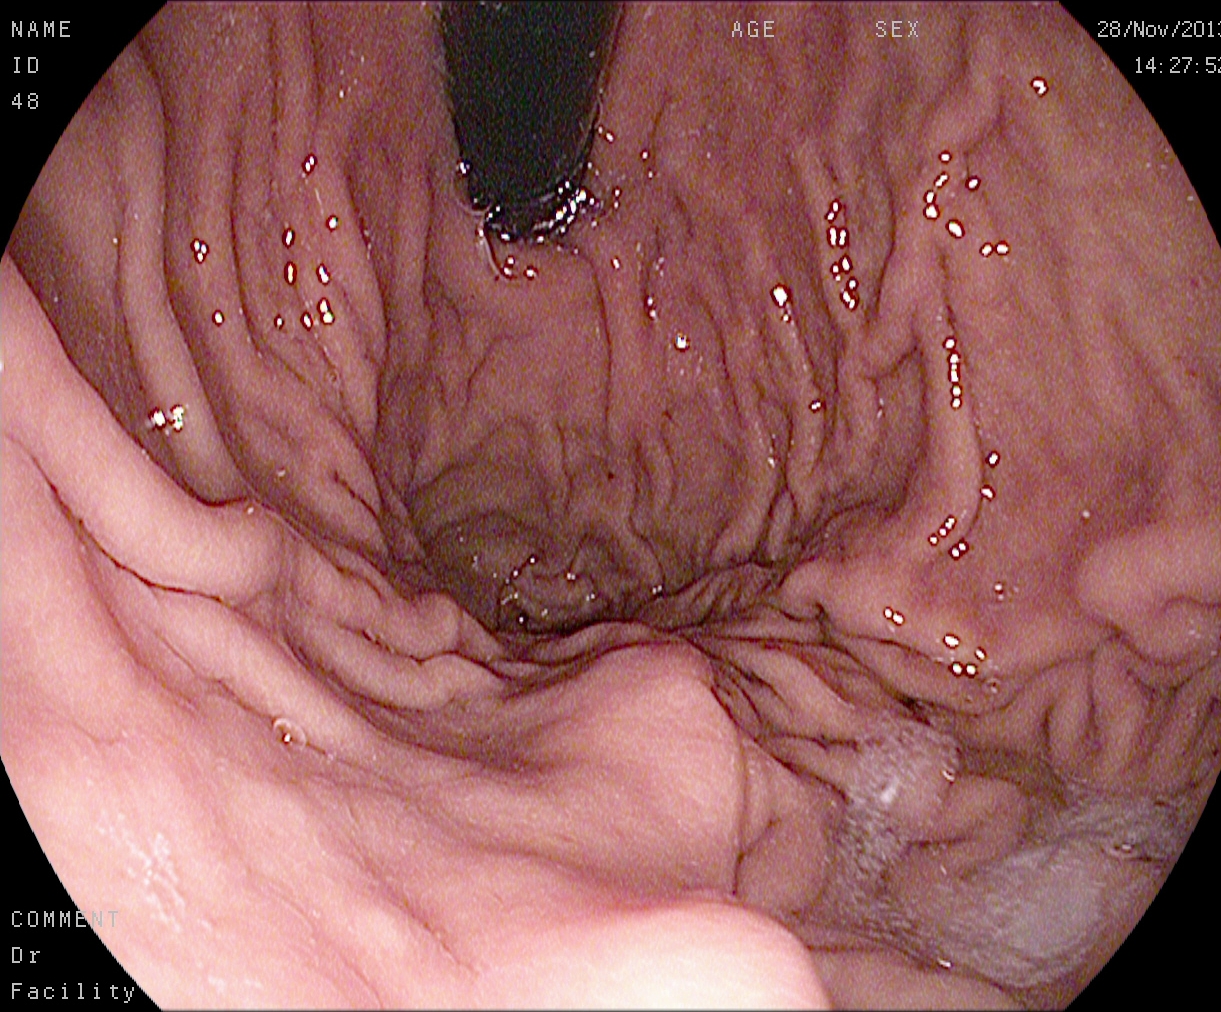modality: upper-GI endoscopy
category: anatomical landmark
finding: stomach in retroflexion